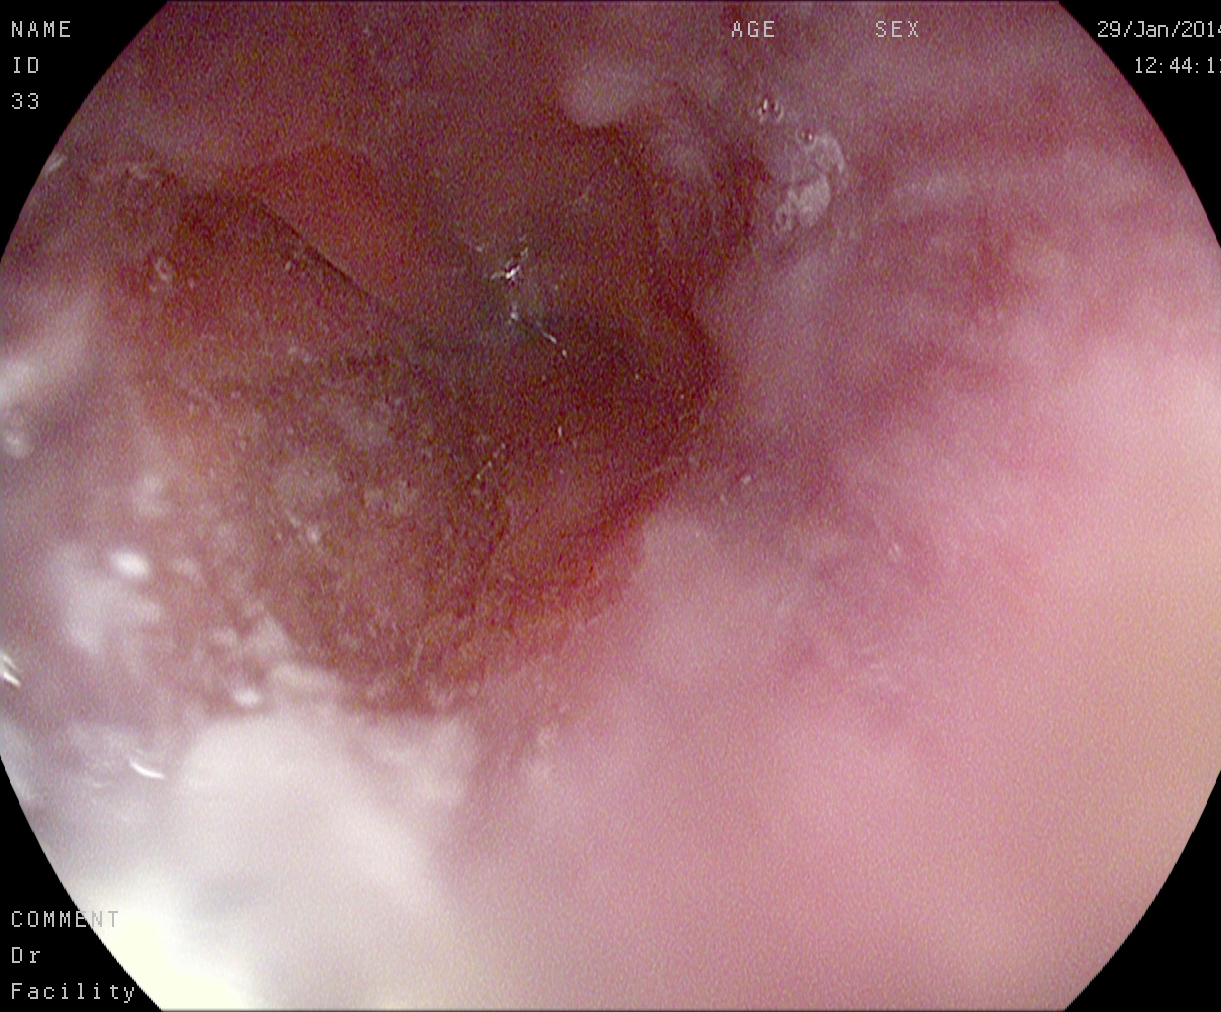This endoscopic image shows reflux esophagitis, LA grade A.